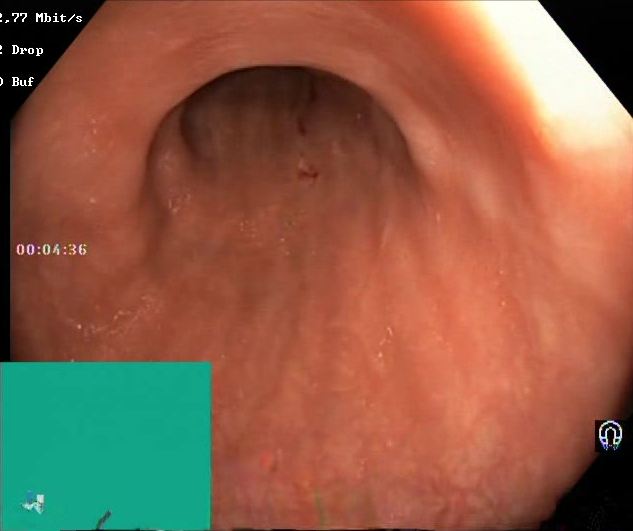modality: lower-GI endoscopy
tract: lower GI tract
category: mucosal-view quality
finding: BBPS score 2–3 (adequate preparation)